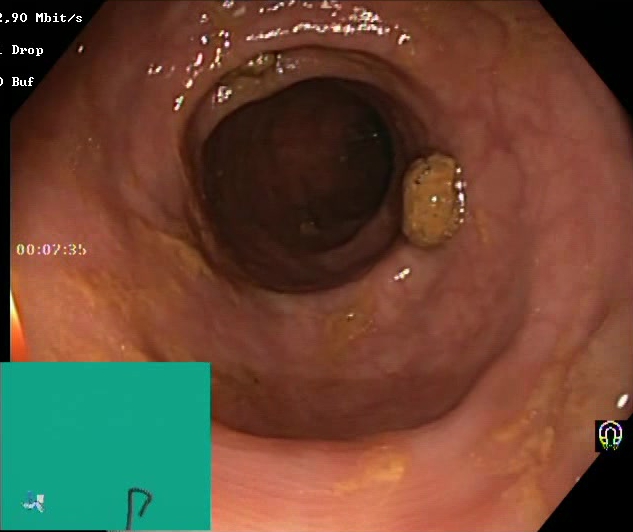Boston Bowel Preparation Scale score 2–3 (adequate preparation).